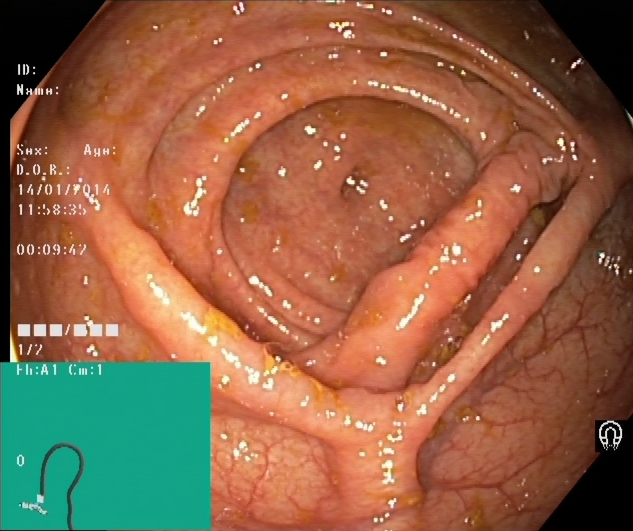PROCEDURE: Lower gastrointestinal endoscopy.
CATEGORY: Anatomical landmark.
FINDINGS: Cecum.